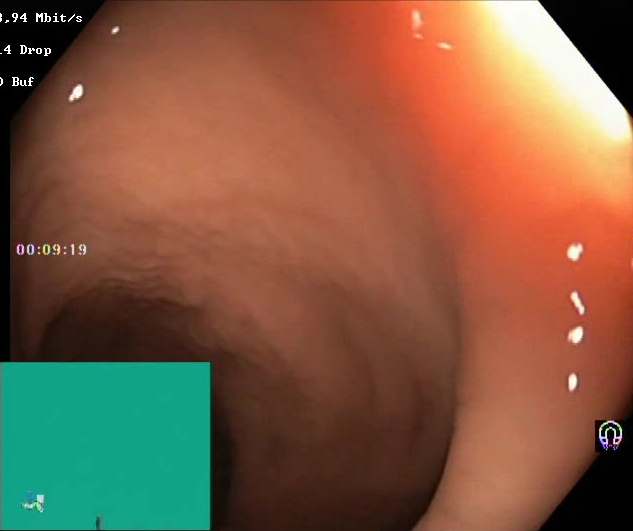Lower gastrointestinal endoscopy — Boston Bowel Preparation Scale score 2–3 (adequate preparation).